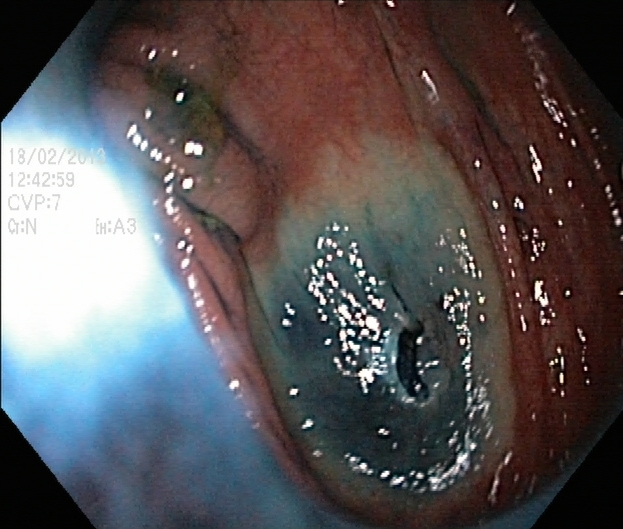Colonoscopy. Tract: lower GI tract. Therapeutic intervention. Finding: dyed resection margins (post-polypectomy).